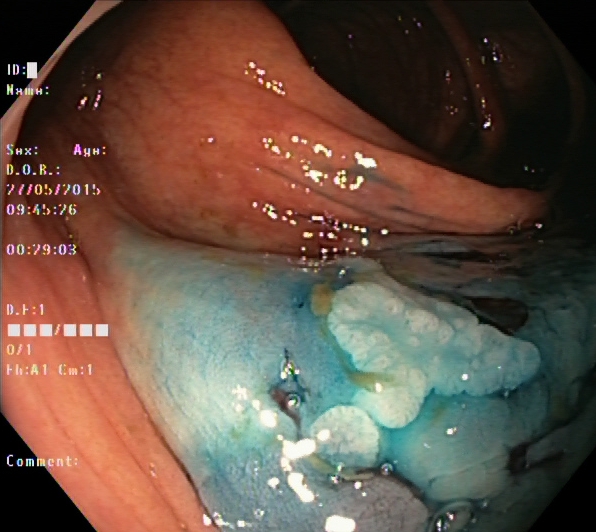{"modality": "lower gastrointestinal endoscopy", "tract": "lower GI tract", "category": "therapeutic intervention", "finding": "dyed and lifted polyp (pre-resection)"}